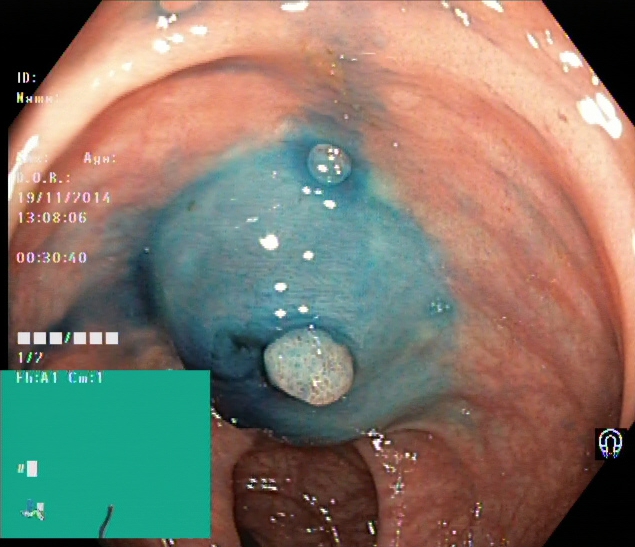modality: colonoscopy
tract: lower GI tract
finding: dyed and lifted polyp (pre-resection)